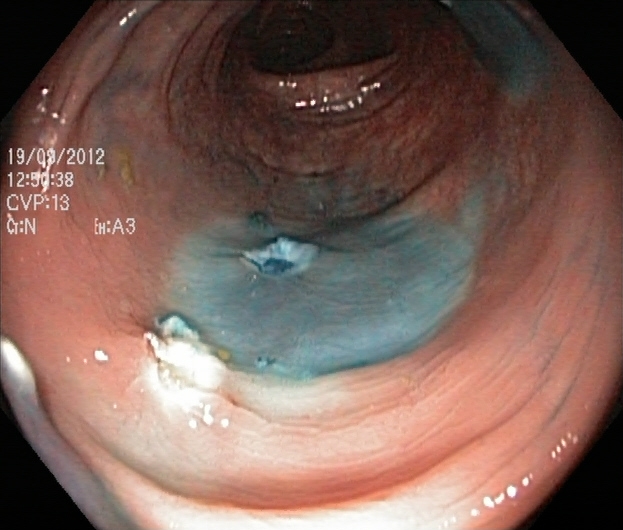modality: lower-GI endoscopy; tract: lower GI tract; finding: dyed resection margins (post-polypectomy)